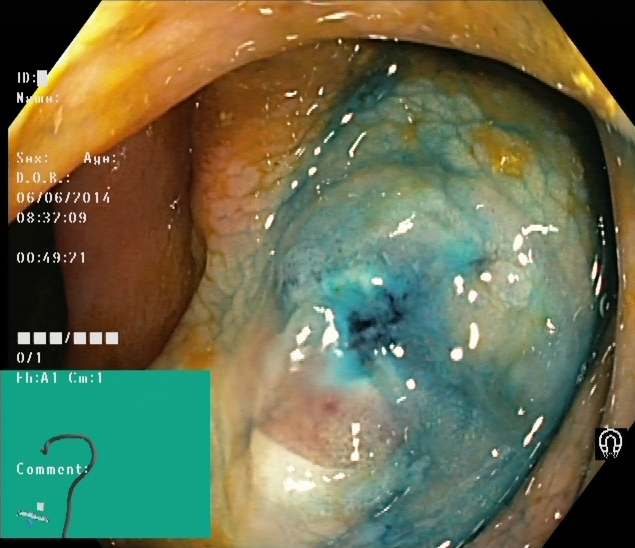Dyed and lifted polyp (pre-resection).